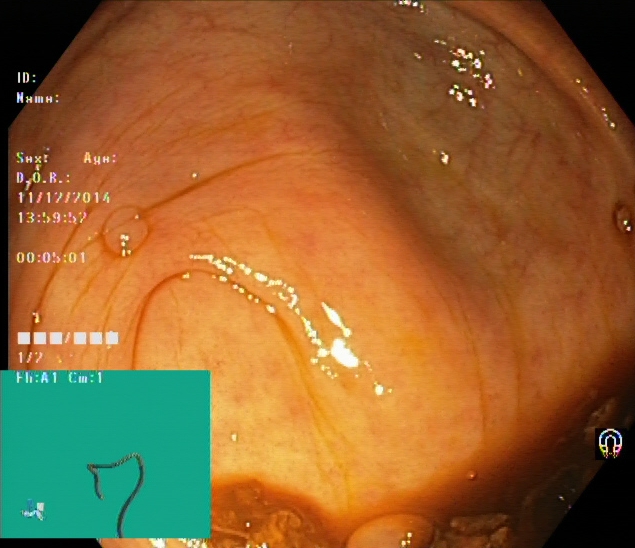This endoscopy frame of the lower GI tract shows cecum.